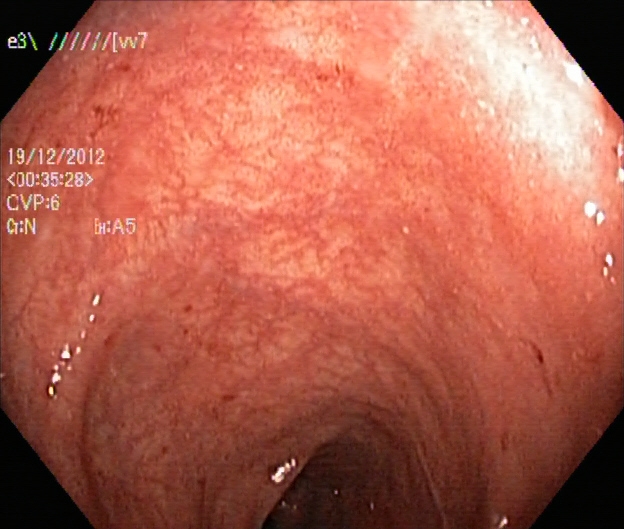UC, Mayo endoscopic subscore 1.